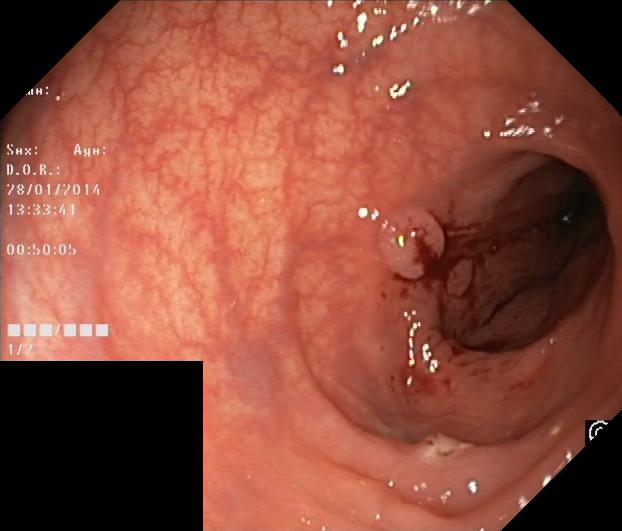Colorectal polyp(s).